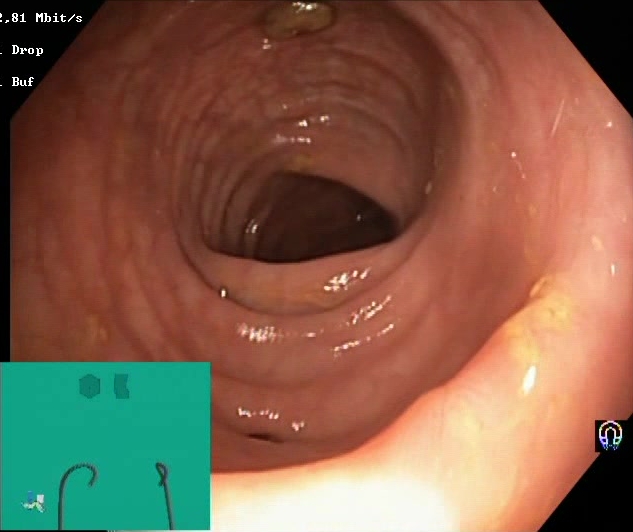Lower gastrointestinal endoscopy image of the lower GI tract showing BBPS score 2–3 (adequate preparation).